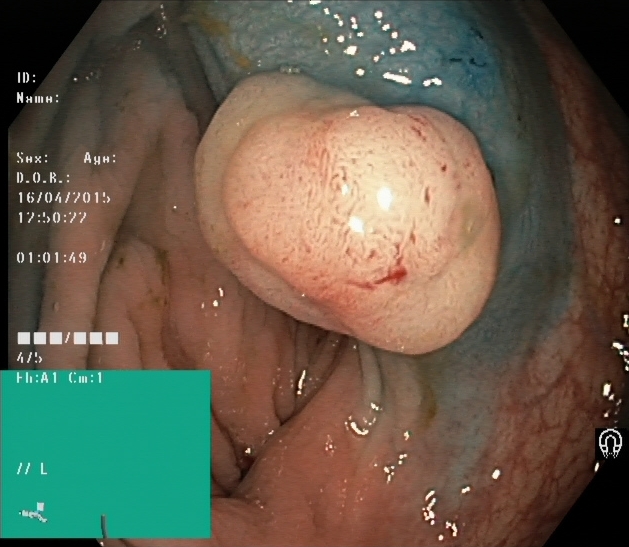PROCEDURE: Lower-GI endoscopy.
FINDINGS: Dyed and lifted polyp (pre-resection).